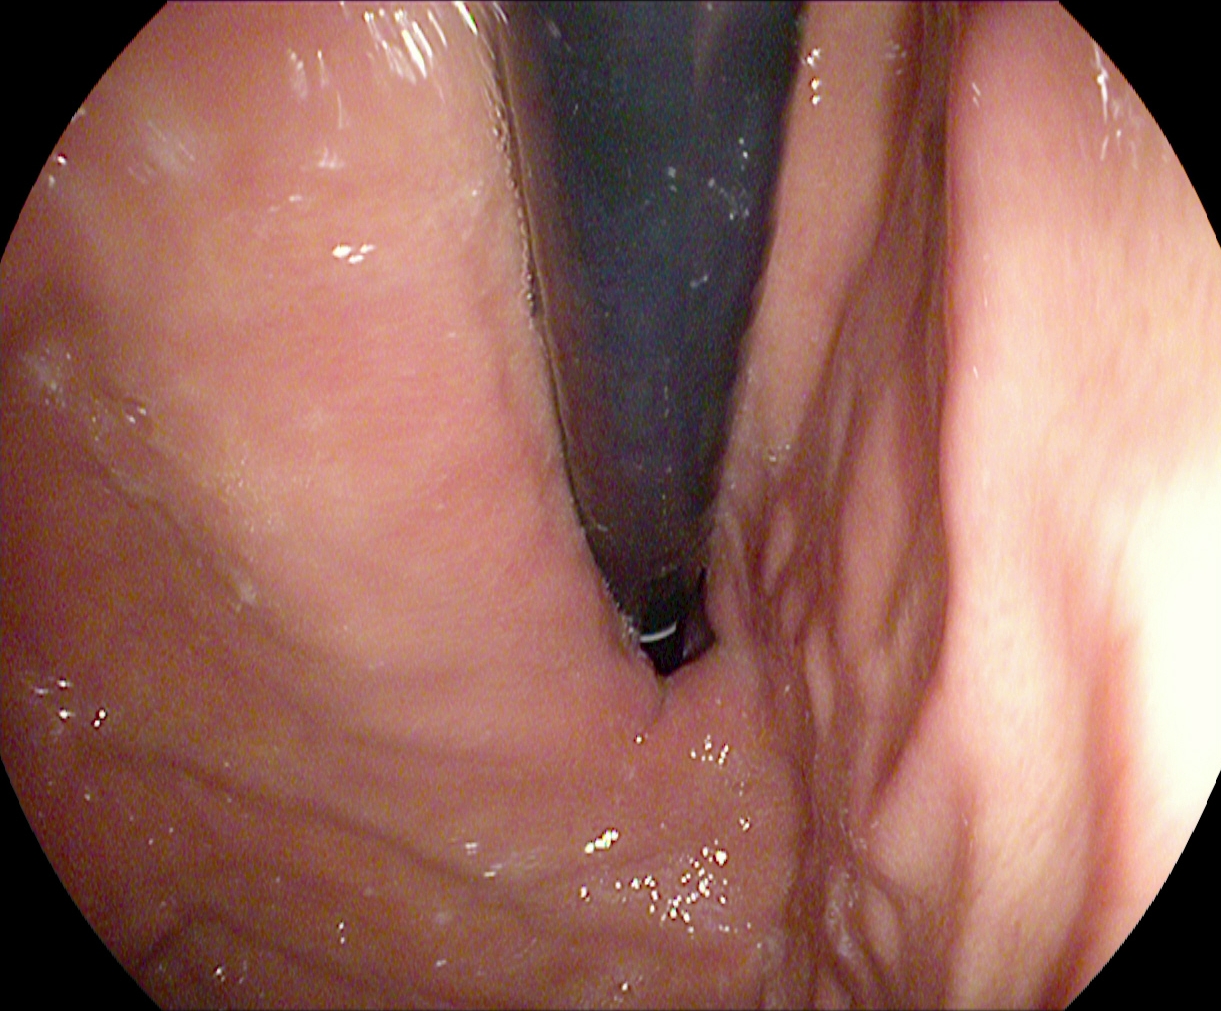EGD. Finding: stomach in retroflexion.